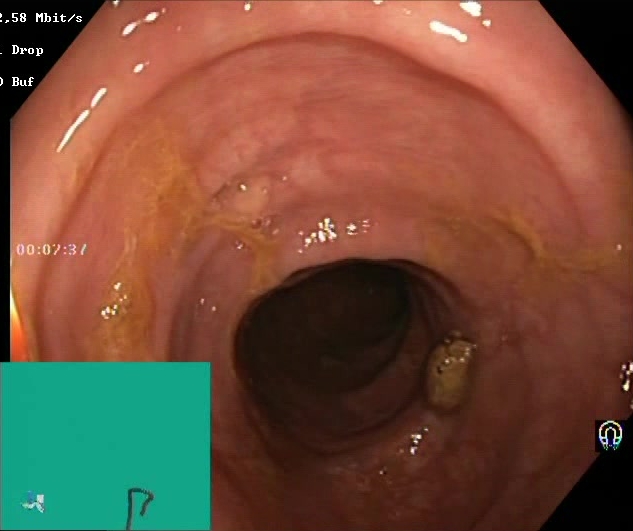Endoscopy image of the lower GI tract showing Boston Bowel Preparation Scale score 2–3 (adequate preparation).